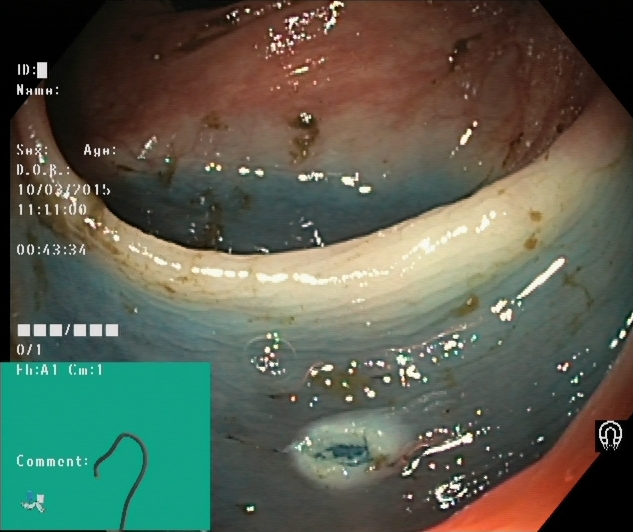{"modality": "lower gastrointestinal endoscopy", "finding": "dyed resection margins (post-polypectomy)"}